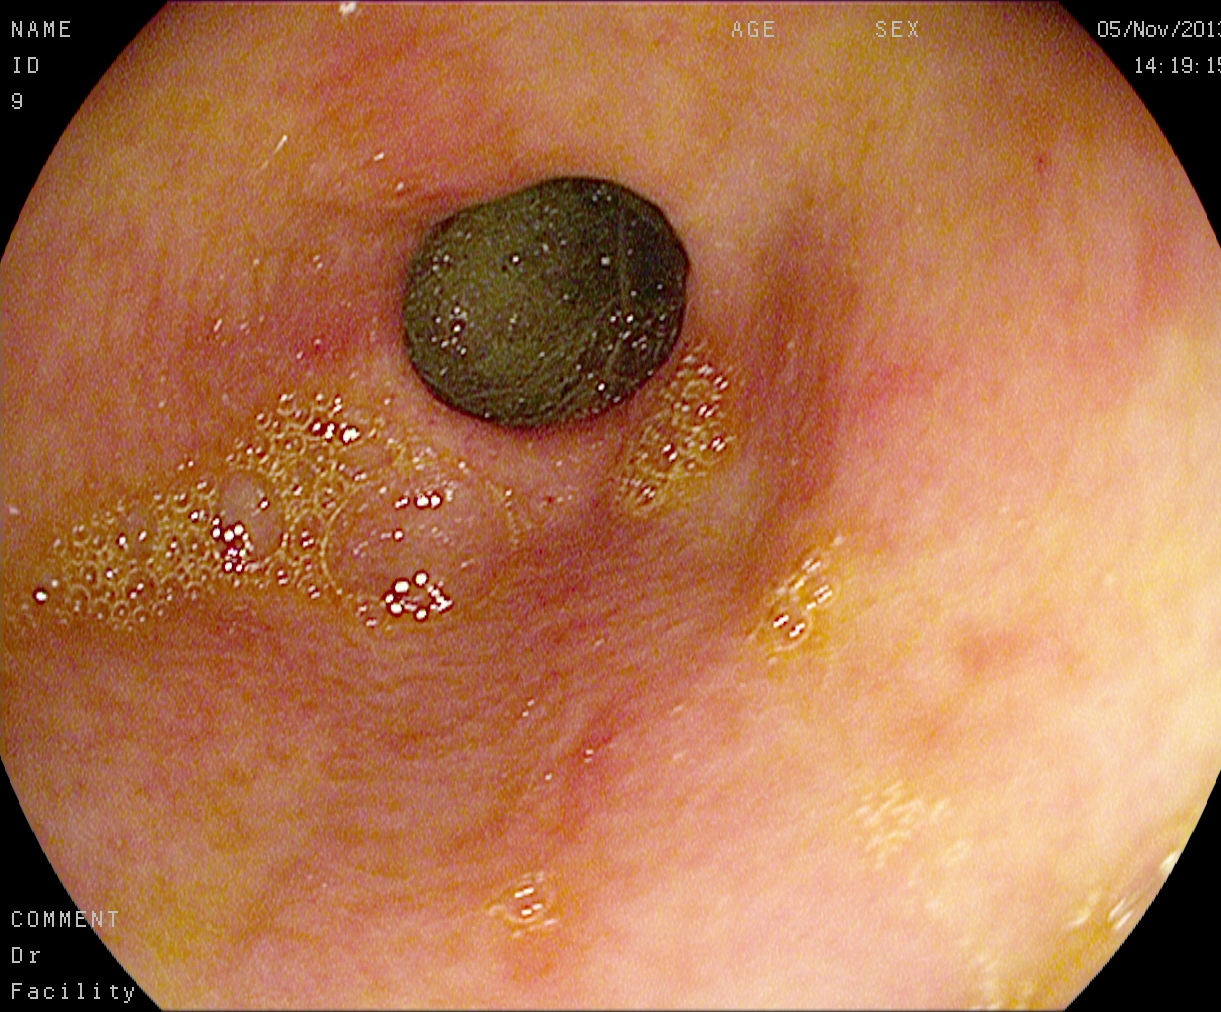modality: gastroscopy
category: anatomical landmark
finding: pylorus